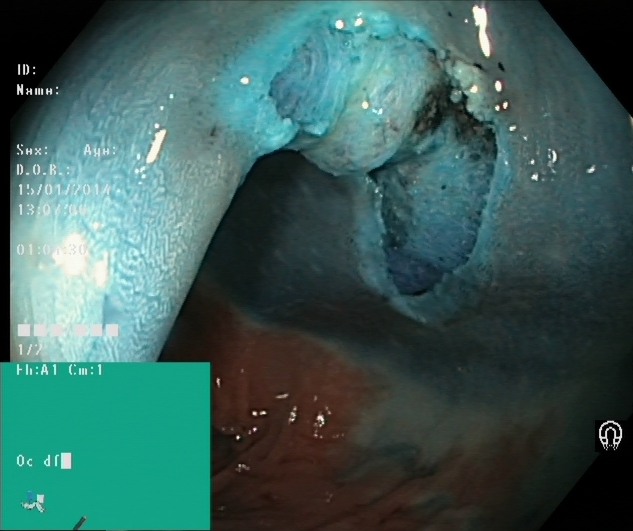modality: lower gastrointestinal endoscopy | tract: lower GI tract | finding: dyed resection margins (post-polypectomy)